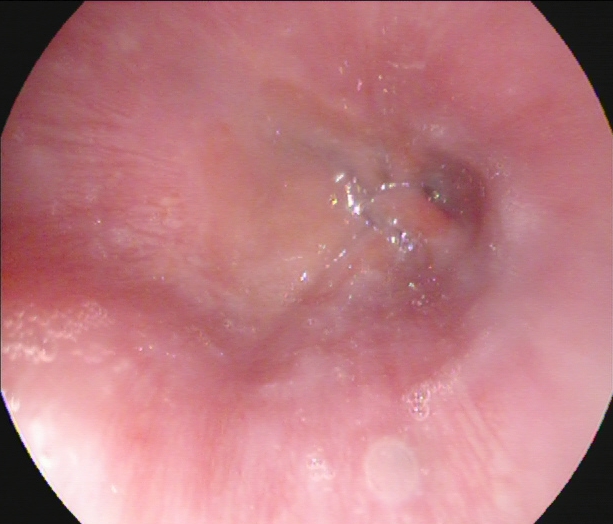{"modality": "EGD", "tract": "upper GI tract", "finding": "Z-line (gastroesophageal junction)"}